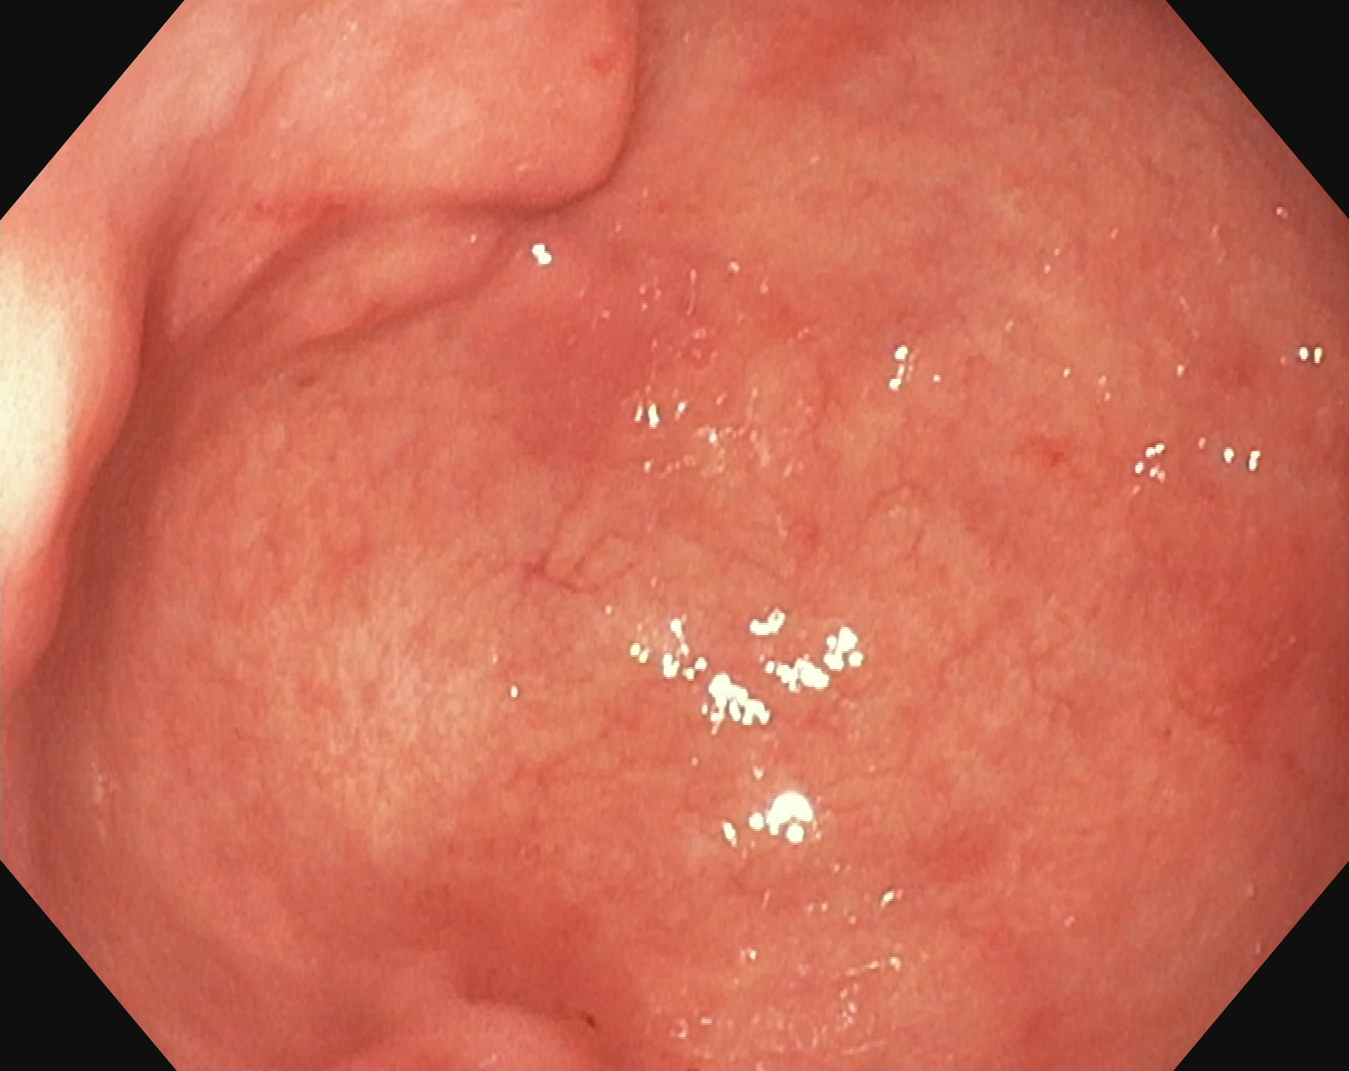PROCEDURE: EGD.
CATEGORY: Anatomical landmark.
FINDINGS: Pylorus.